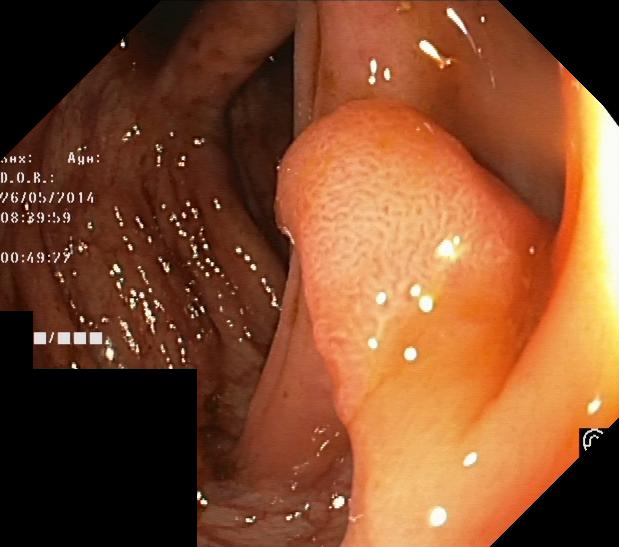modality: lower-GI endoscopy | tract: lower GI tract | category: pathological finding | finding: colorectal polyp(s)